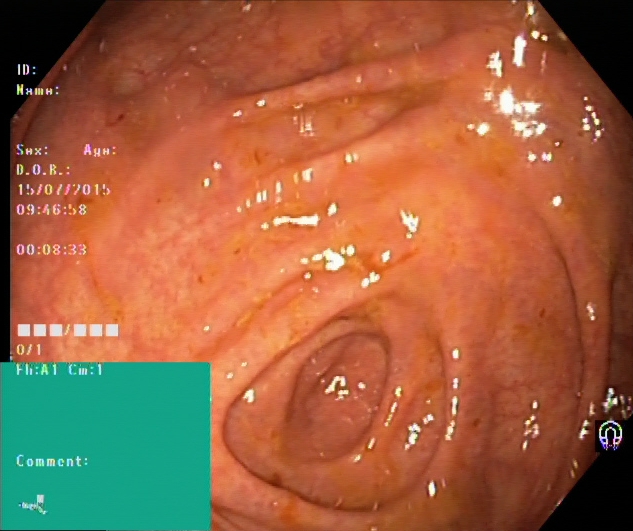This endoscopic image shows cecum.